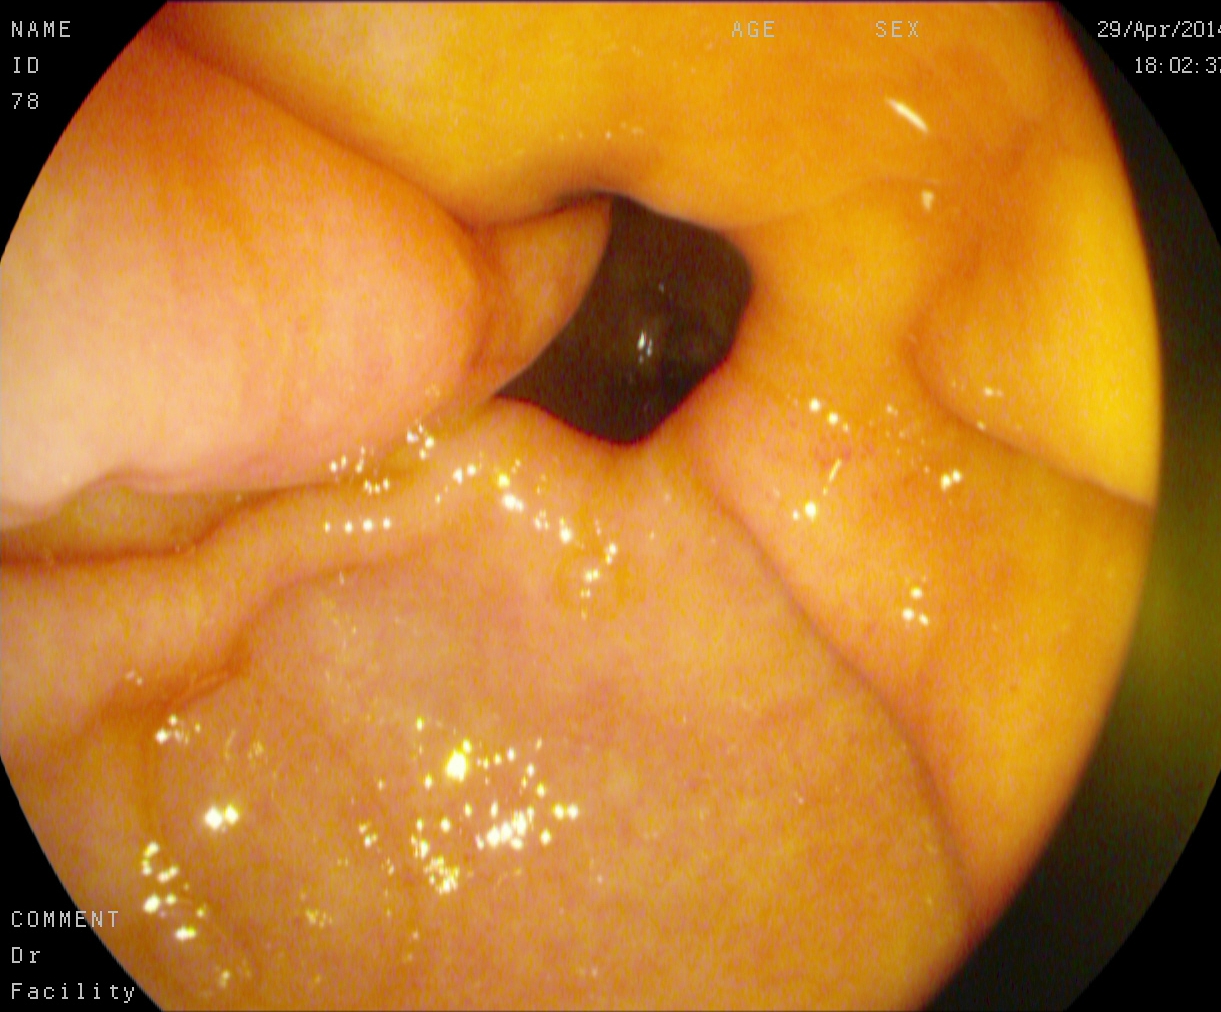Endoscopic image showing pylorus.